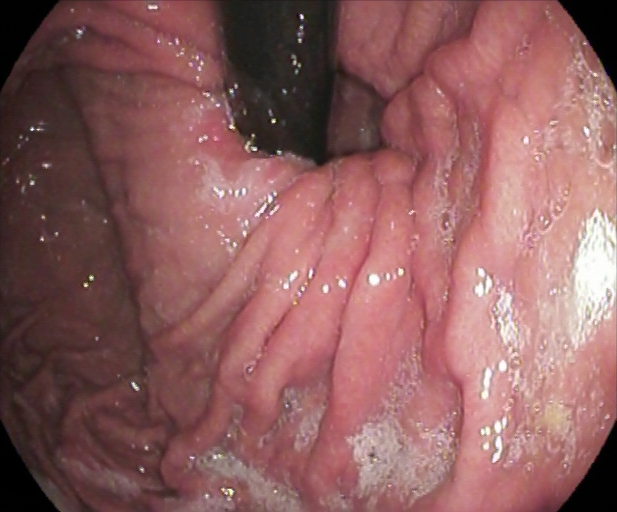PROCEDURE: Esophagogastroduodenoscopy.
FINDINGS: Stomach in retroflexion.